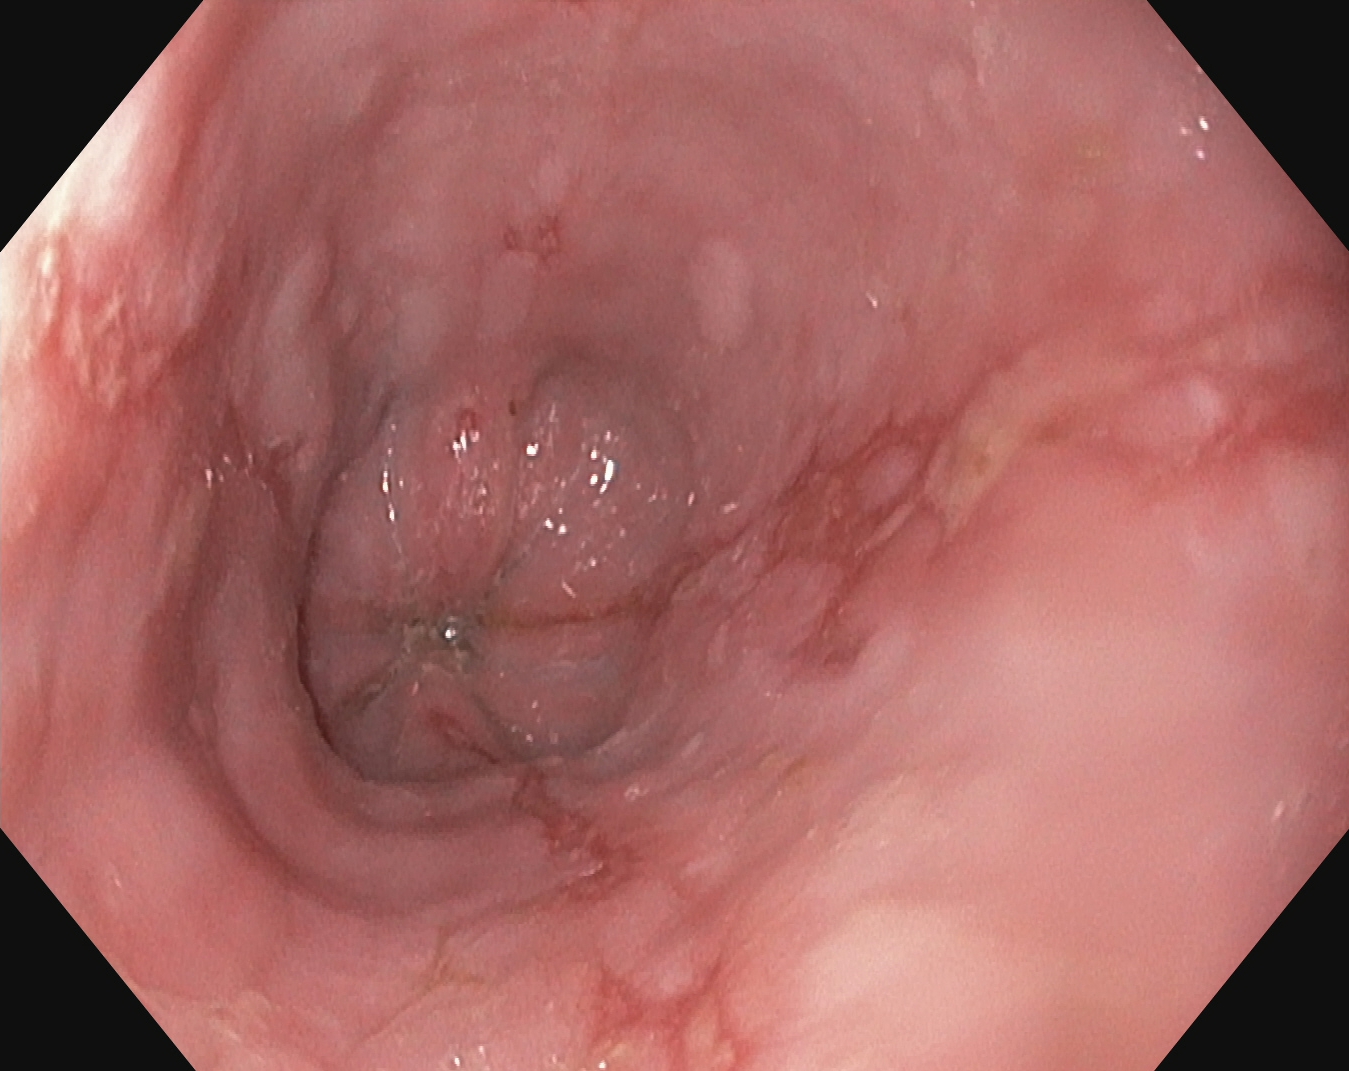PROCEDURE: Upper-GI endoscopy.
CATEGORY: Pathological finding.
FINDINGS: Reflux esophagitis, LA grade B–D.